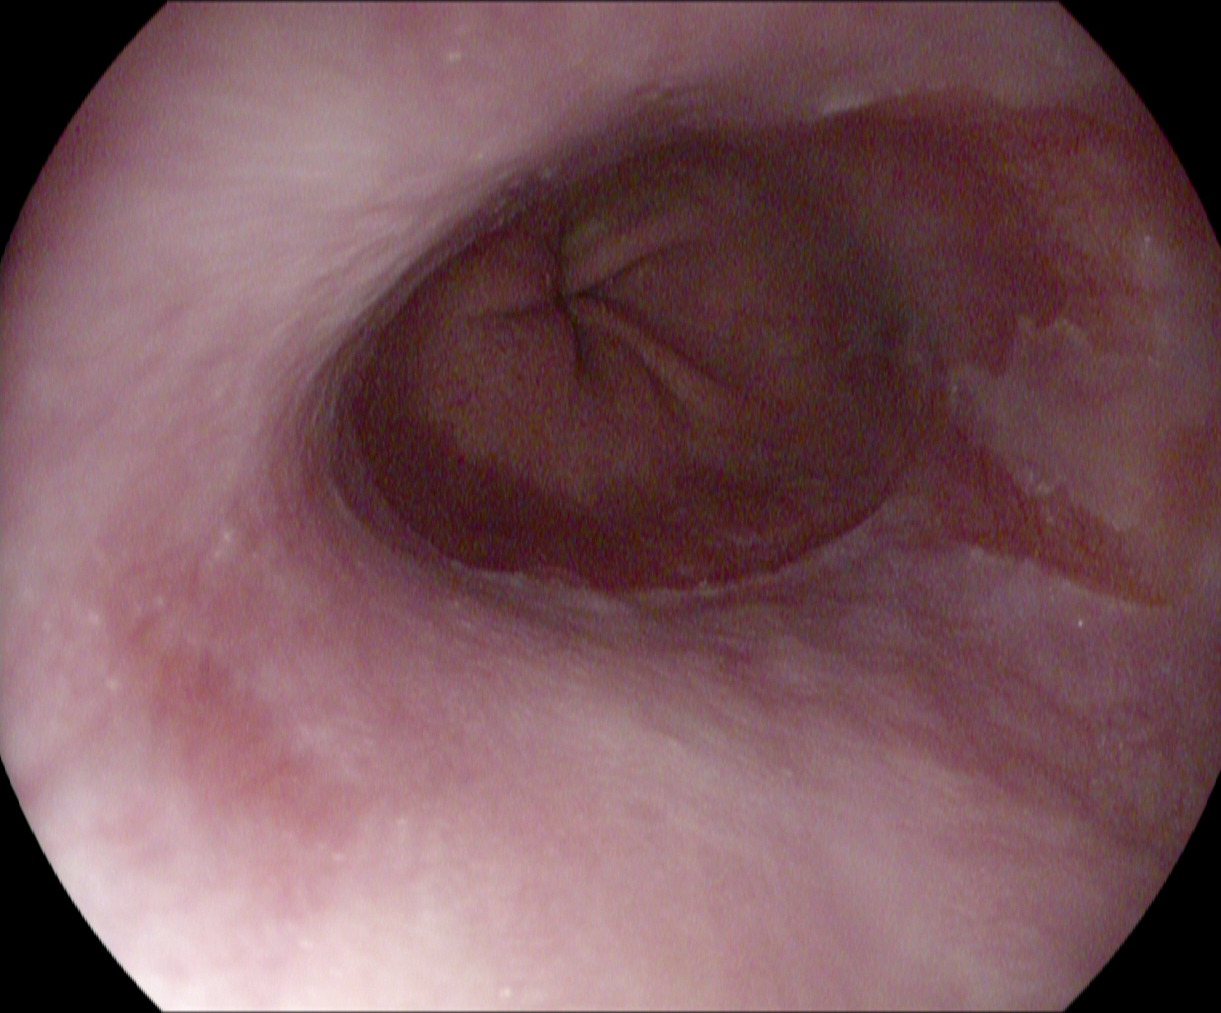Esophagogastroduodenoscopy. Tract: upper GI tract. Pathological finding. Finding: Barrett's esophagus, short segment.